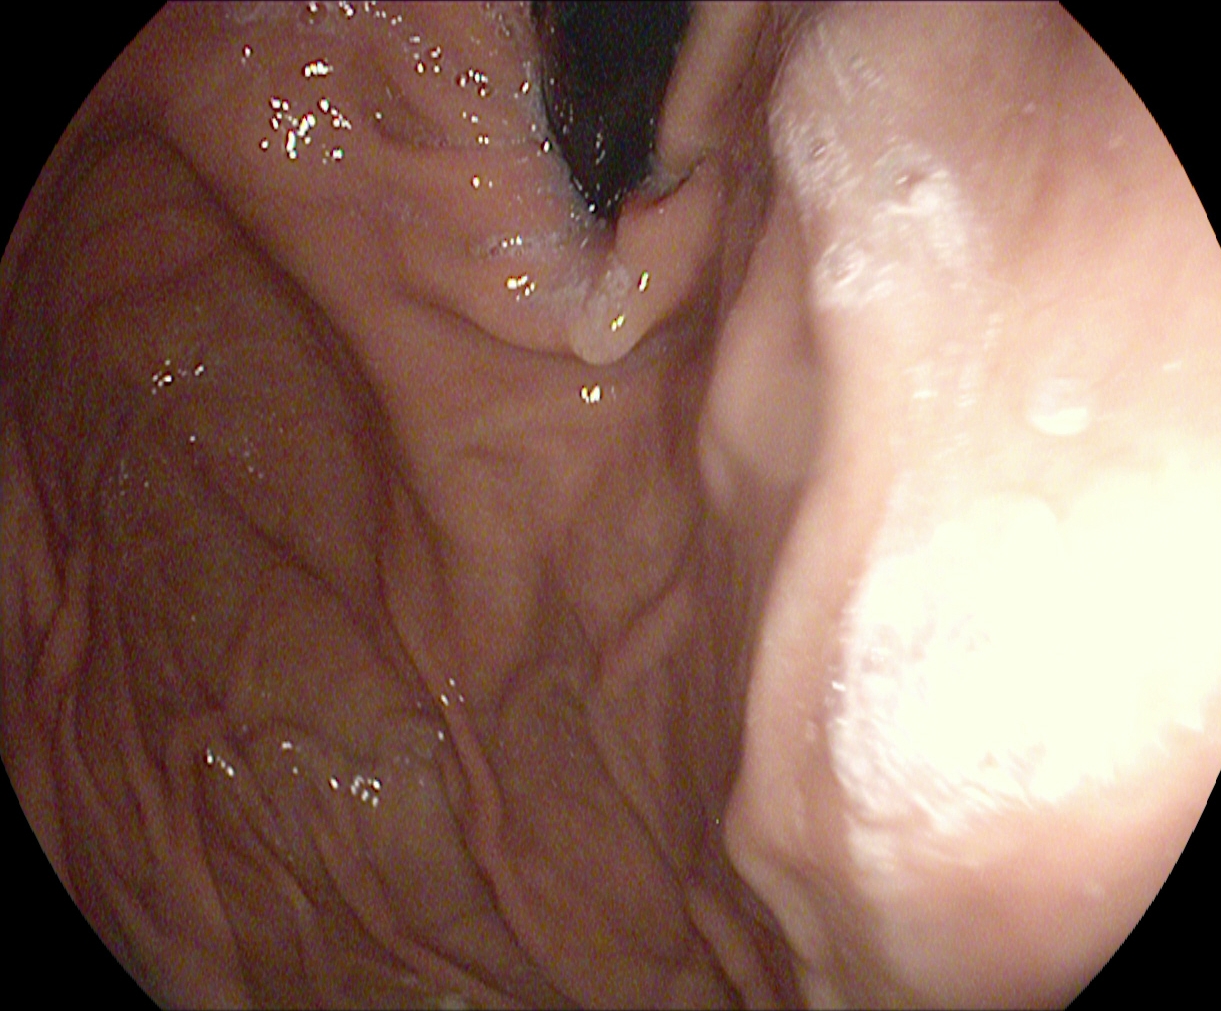{"modality": "upper-GI endoscopy", "tract": "upper GI tract", "finding": "stomach in retroflexion"}